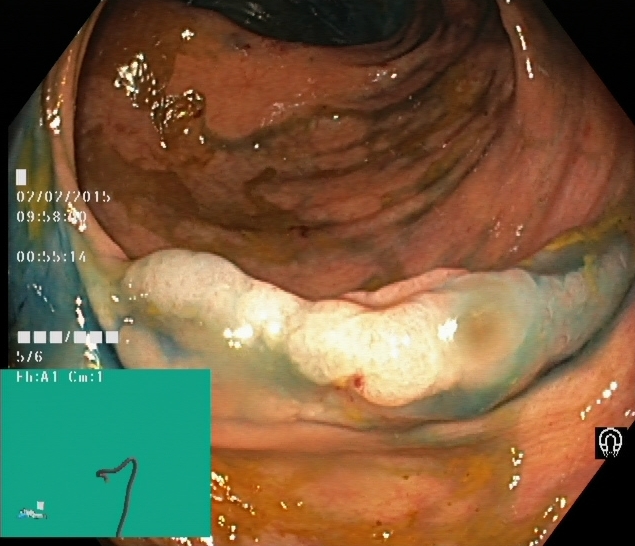Lower gastrointestinal endoscopy — dyed and lifted polyp (pre-resection).